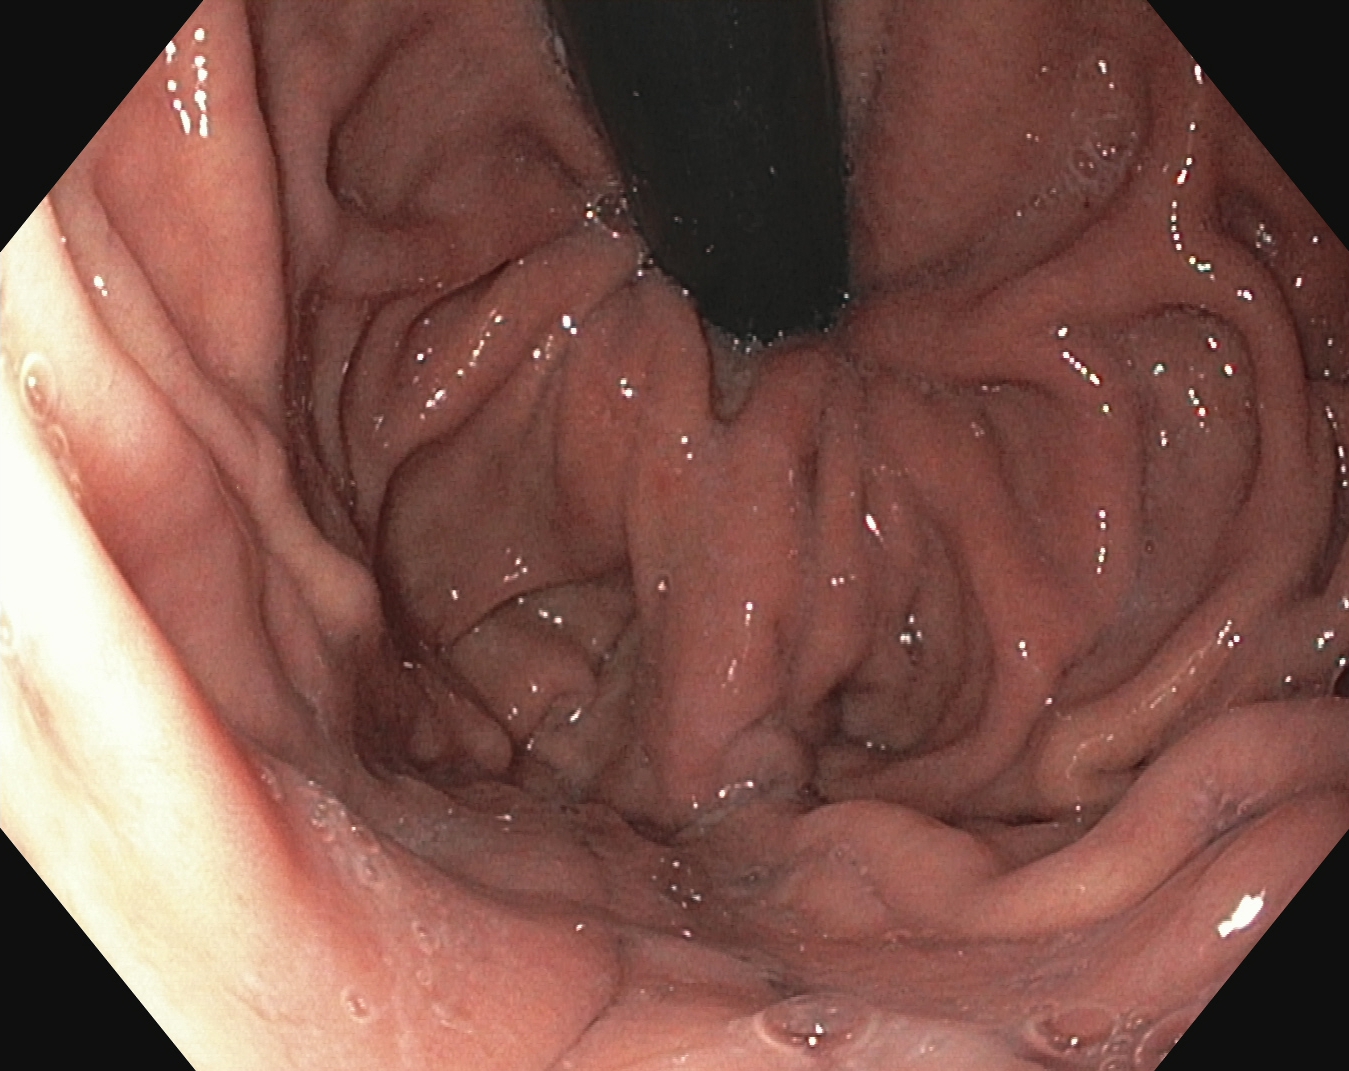Endoscopy image showing stomach in retroflexion.